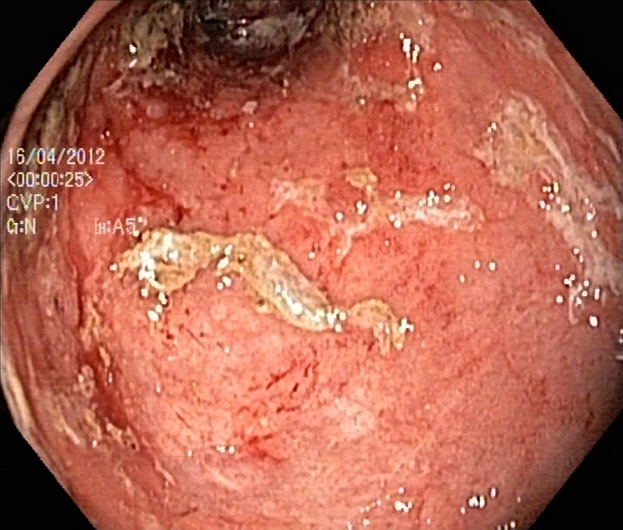Lower gastrointestinal endoscopy — ulcerative colitis, Mayo endoscopic subscore 3.